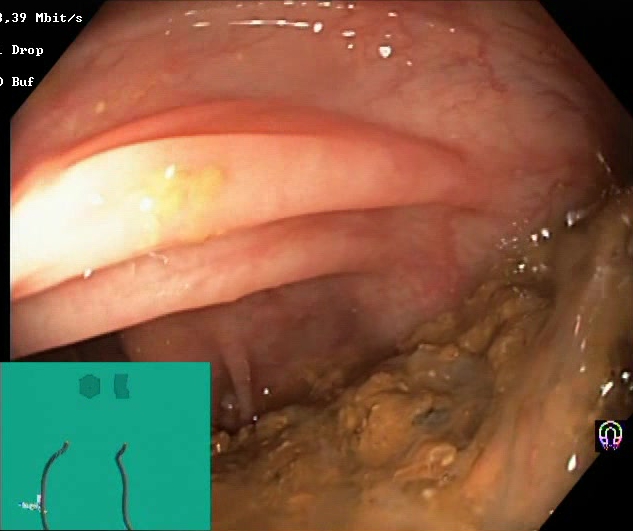modality: lower gastrointestinal endoscopy; tract: lower GI tract; category: mucosal-view quality; finding: Boston Bowel Preparation Scale score 0–1 (inadequate preparation)